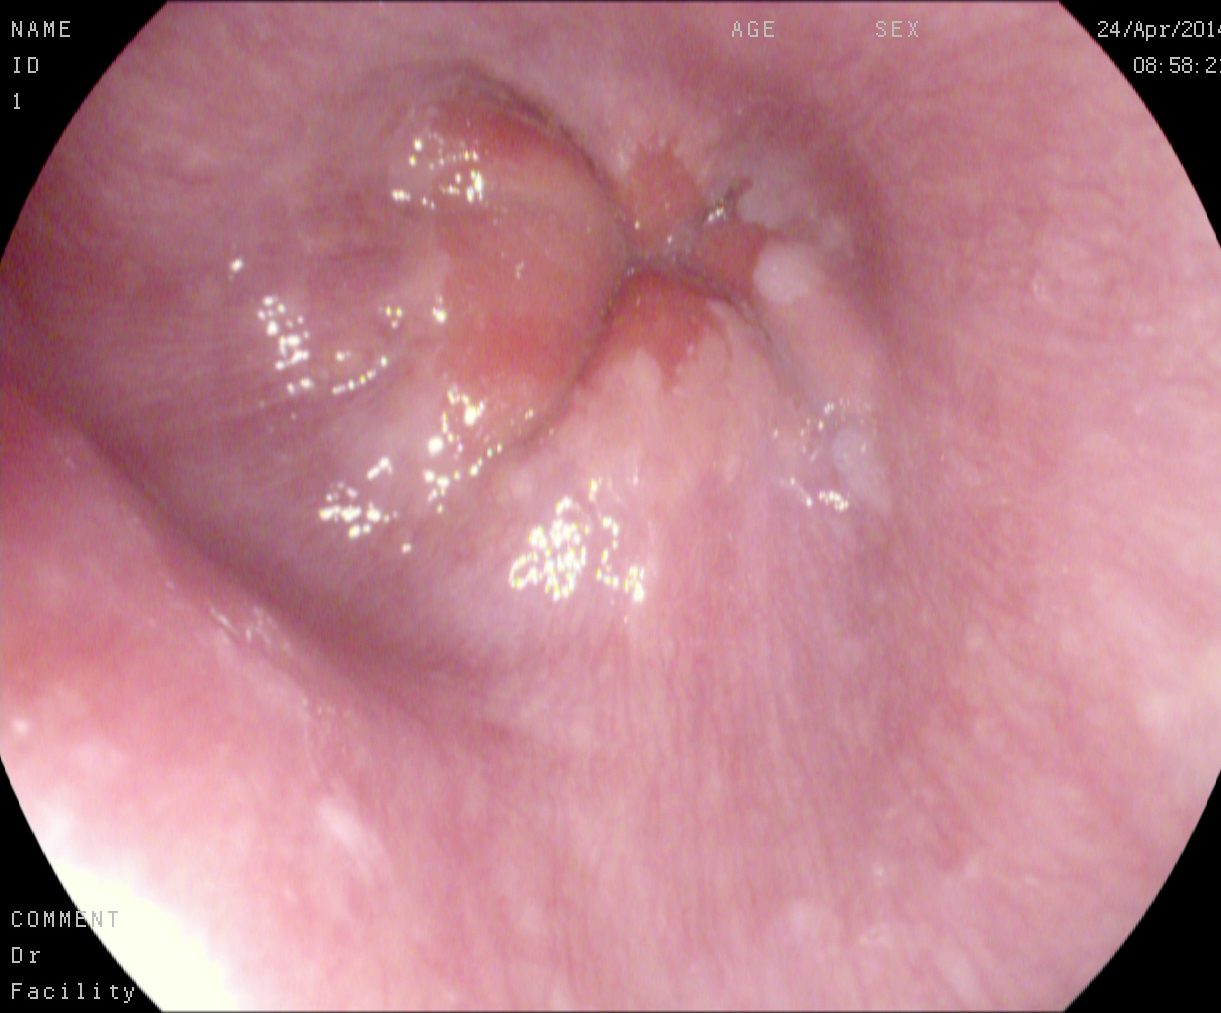PROCEDURE: Upper-GI endoscopy.
CATEGORY: Anatomical landmark.
FINDINGS: Z-line (gastroesophageal junction).